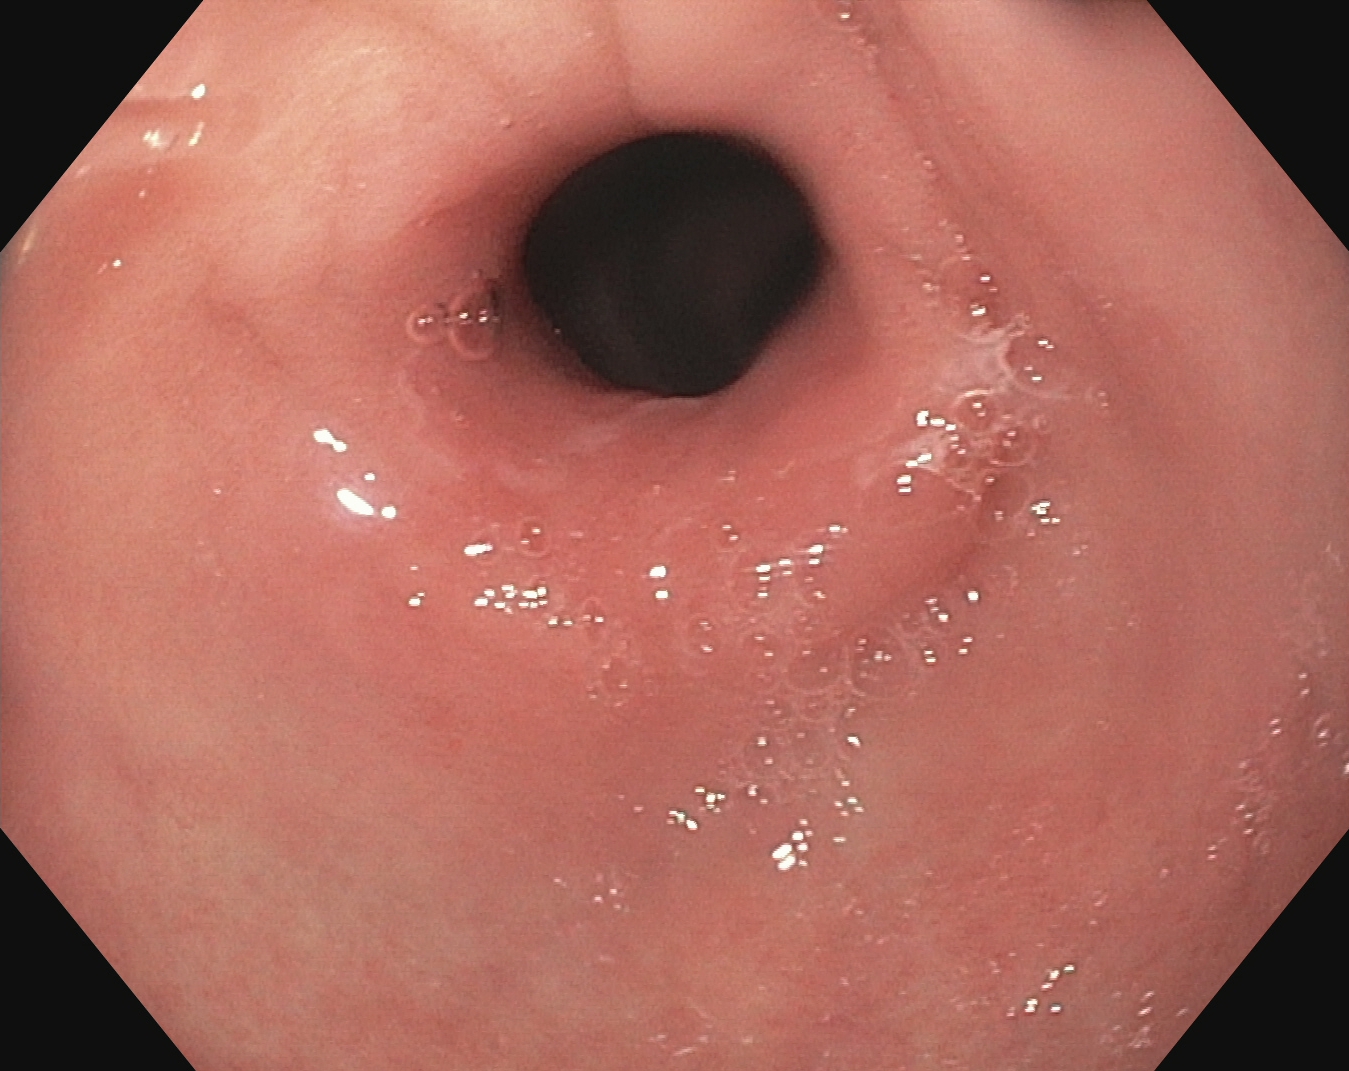This endoscopy frame of the upper GI tract shows pylorus.